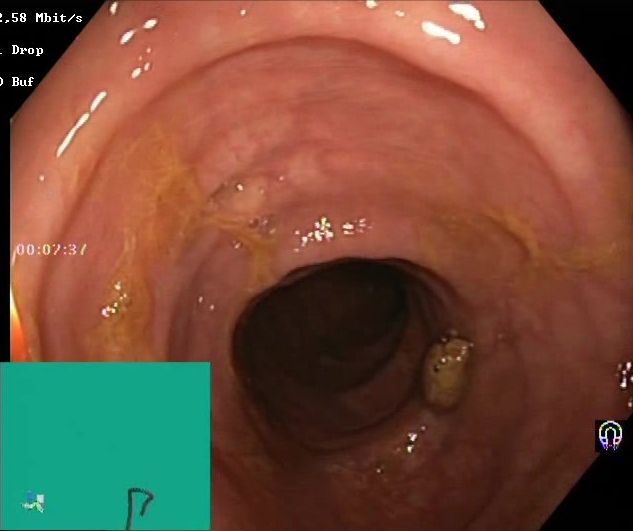modality: lower gastrointestinal endoscopy; tract: lower GI tract; finding: Boston Bowel Preparation Scale score 2–3 (adequate preparation)